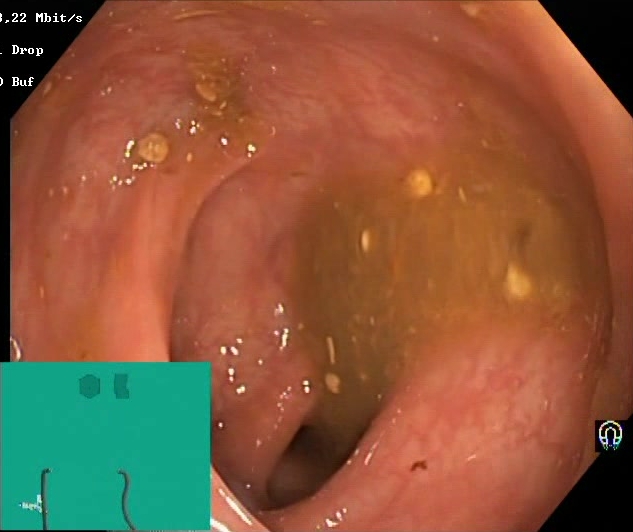modality: lower-GI endoscopy; tract: lower GI tract; finding: BBPS score 0–1 (inadequate preparation)